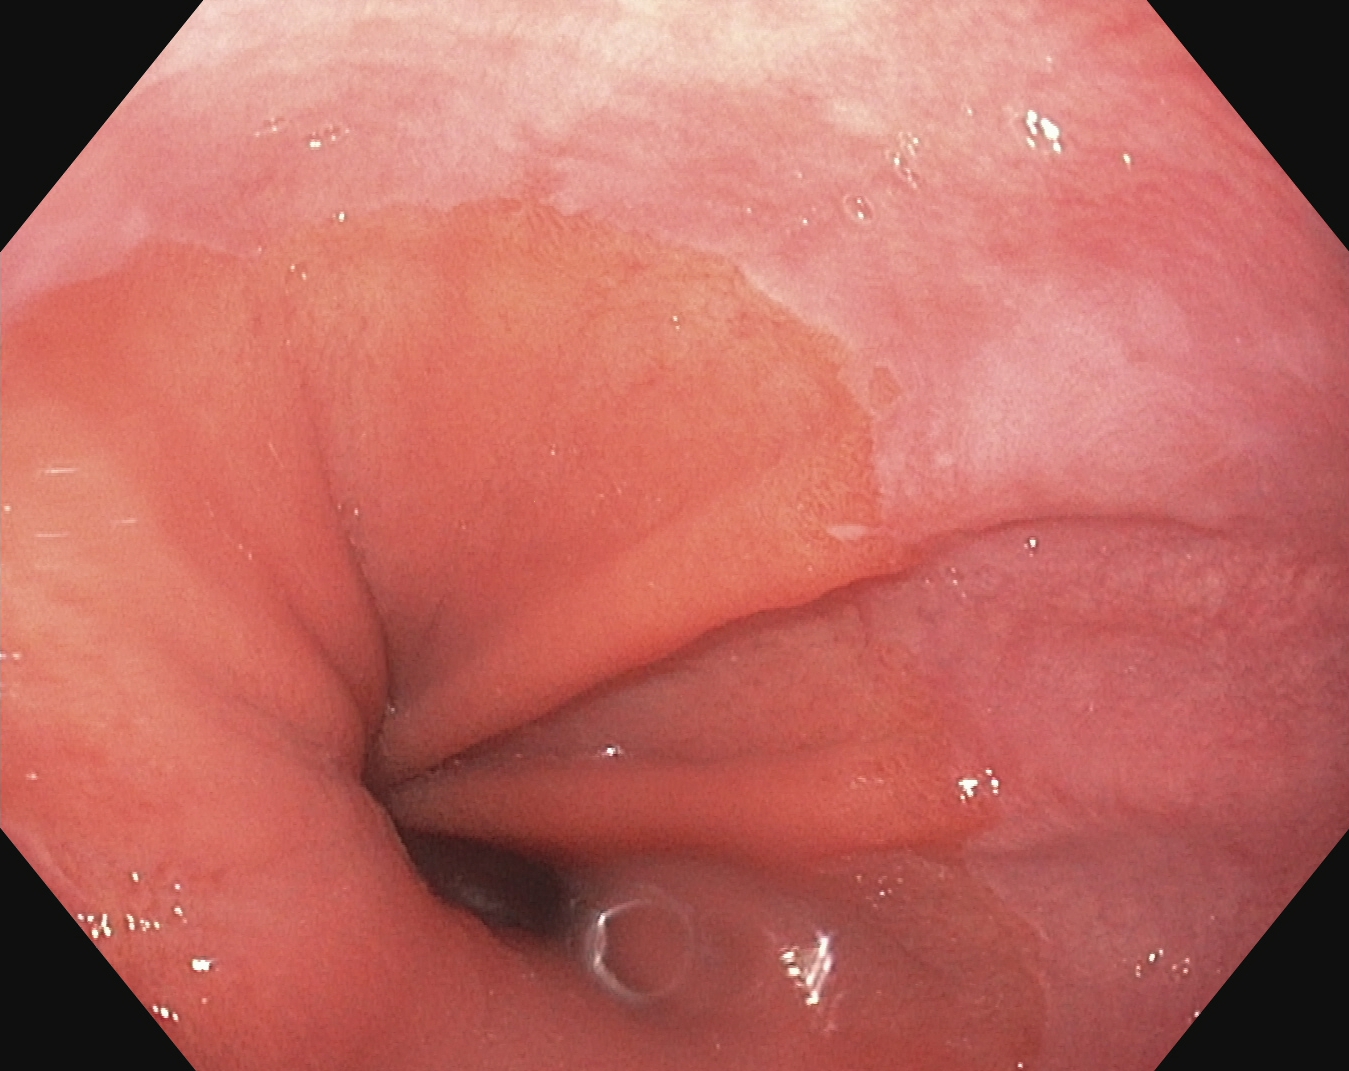EGD — Z-line (gastroesophageal junction).